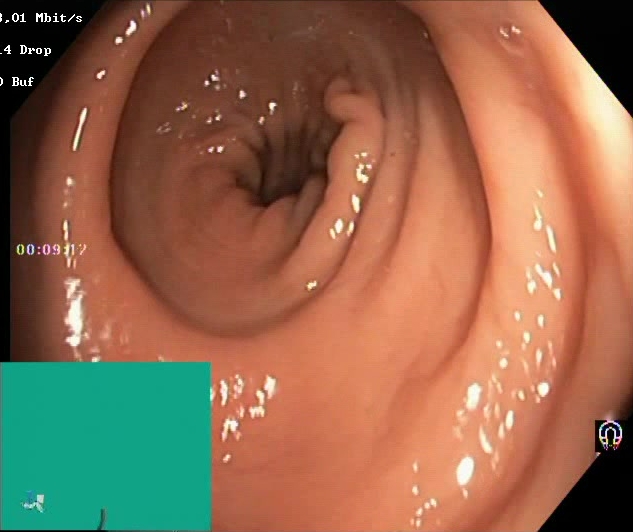Lower-GI endoscopy — BBPS score 2–3 (adequate preparation).